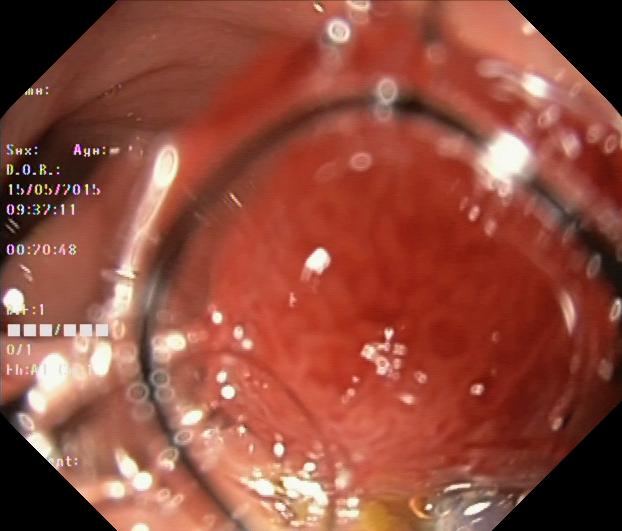Colonoscopy — colorectal polyp(s).